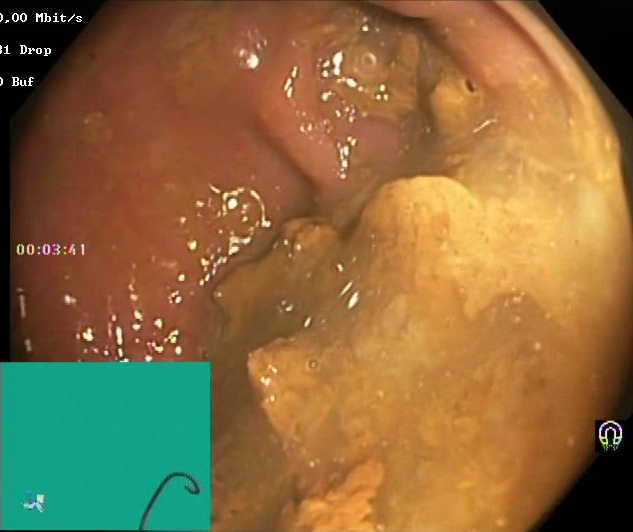Lower-GI endoscopy. Tract: lower GI tract. Finding: Boston Bowel Preparation Scale score 0–1 (inadequate preparation).